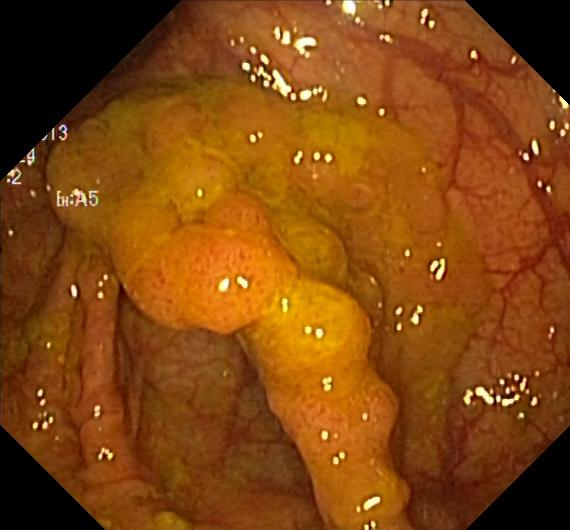Colorectal polyp(s).